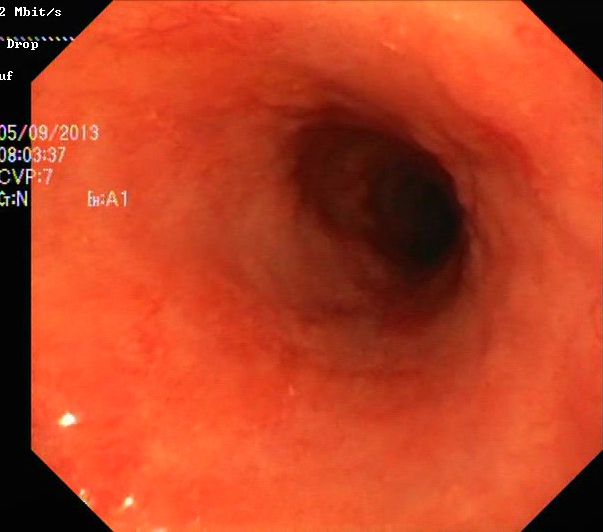{"modality": "lower gastrointestinal endoscopy", "finding": "ulcerative colitis, Mayo endoscopic subscore 2"}